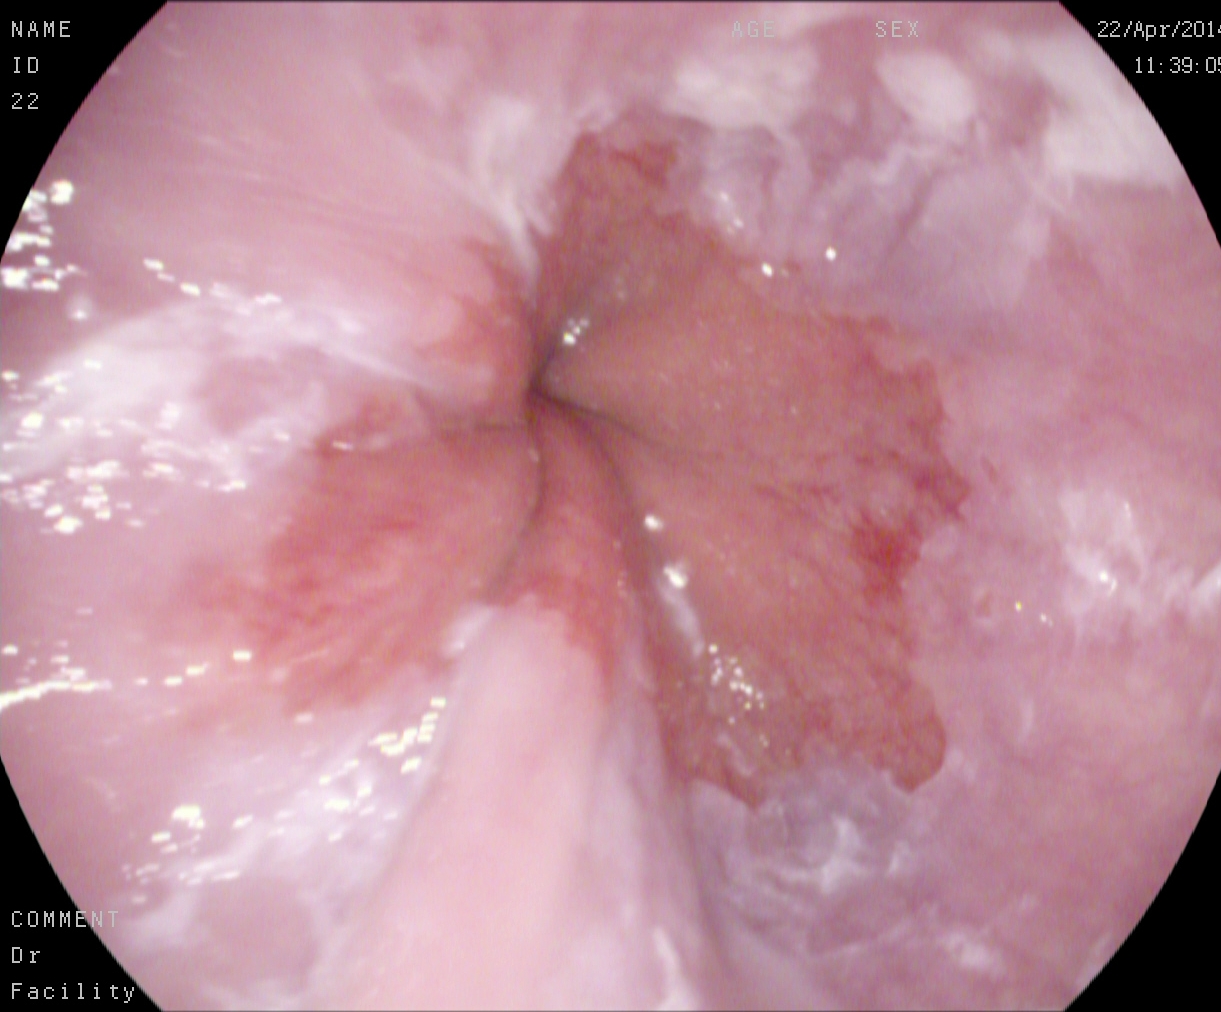Barrett's esophagus, short segment.